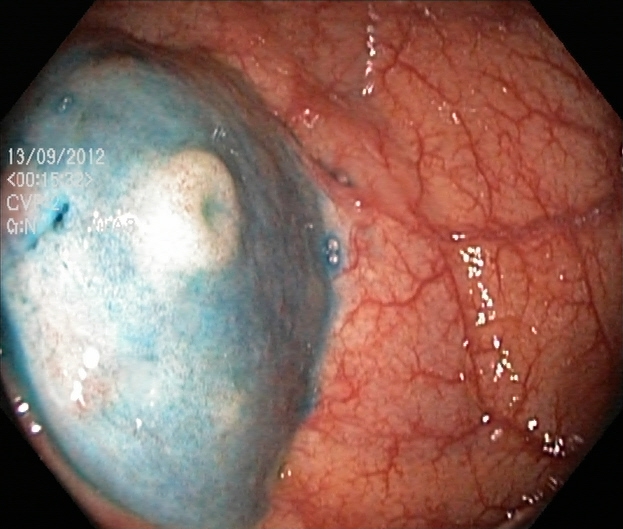PROCEDURE: Lower-GI endoscopy.
FINDINGS: Dyed and lifted polyp (pre-resection).